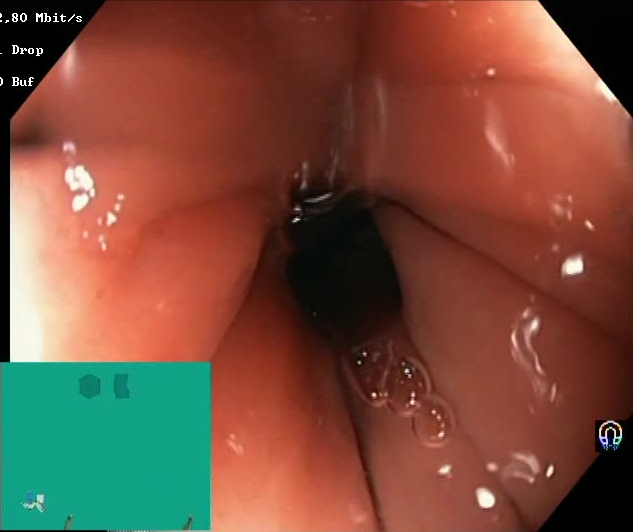Boston Bowel Preparation Scale score 2–3 (adequate preparation).